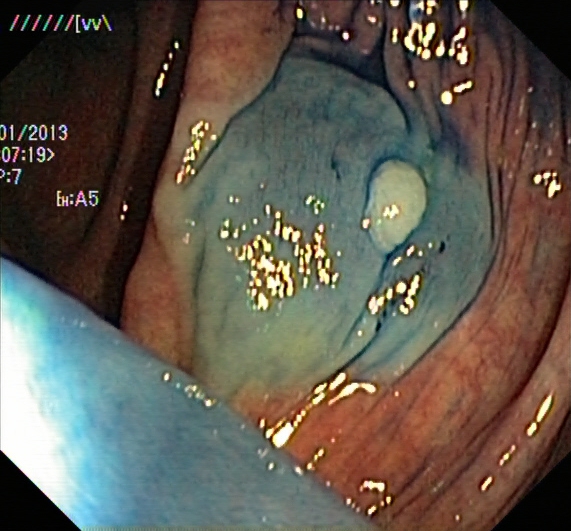Colonoscopy — dyed and lifted polyp (pre-resection).